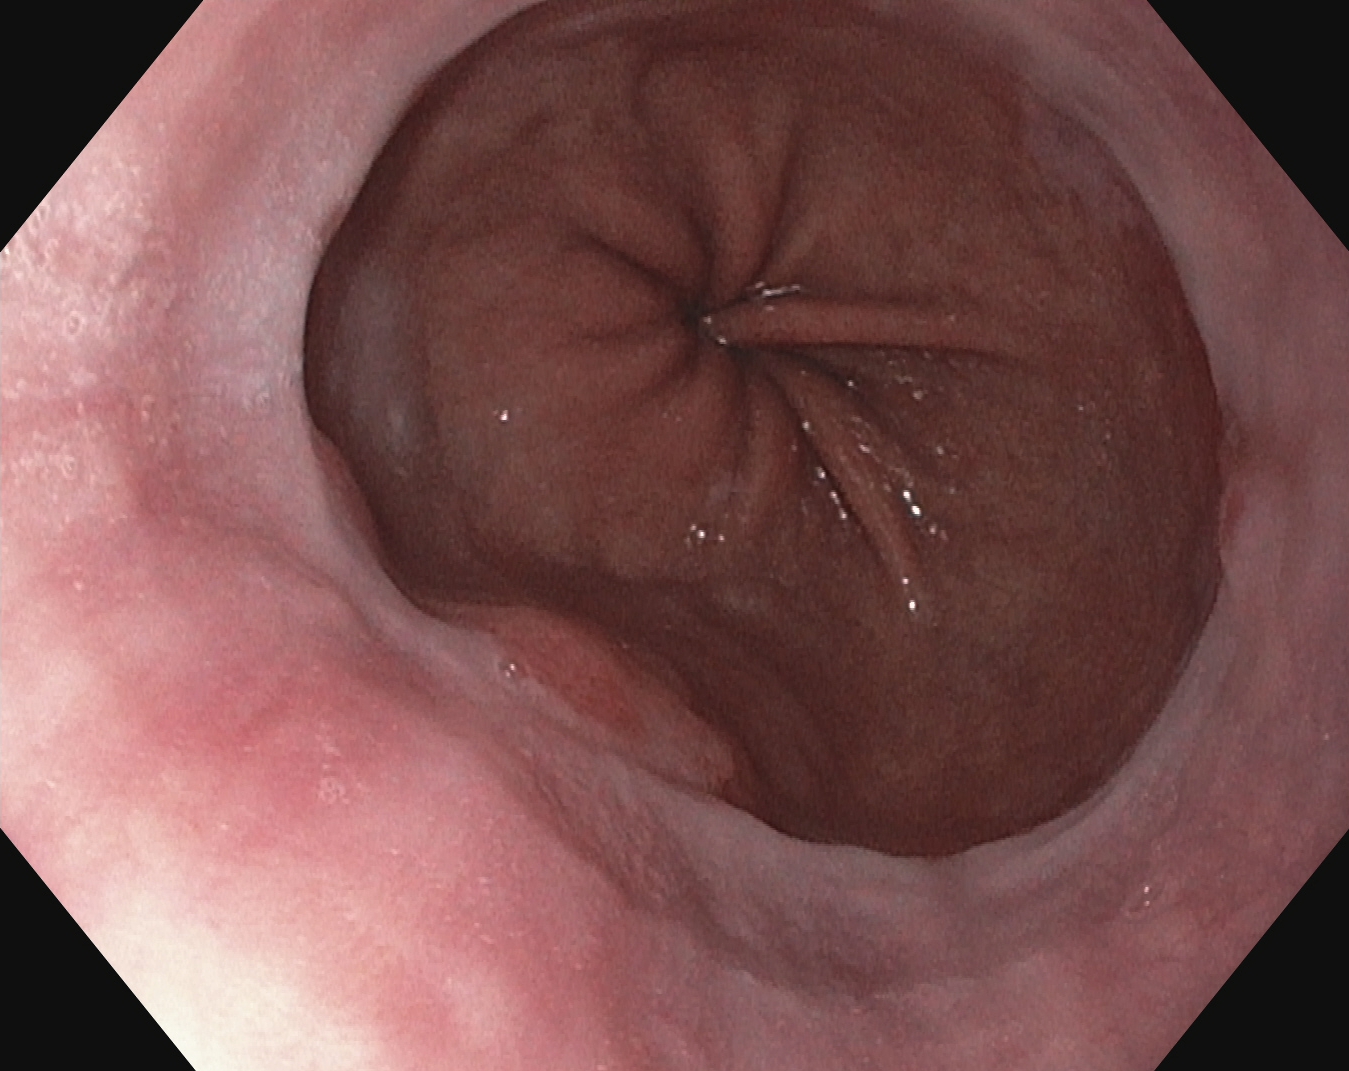Upper-GI endoscopy — Z-line (gastroesophageal junction).